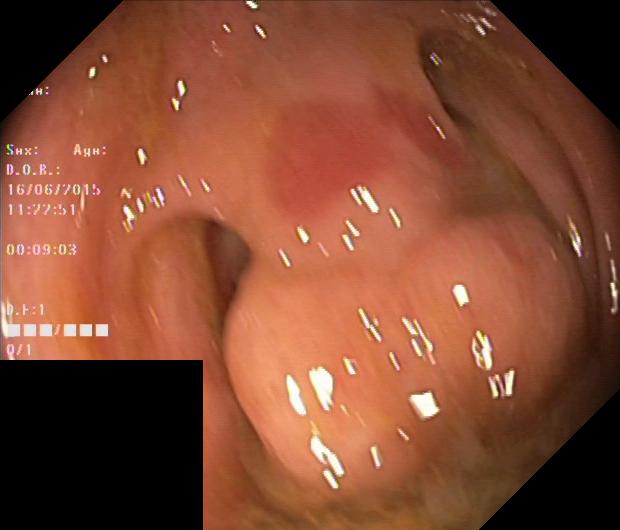{"modality": "colonoscopy", "tract": "lower GI tract", "category": "pathological finding", "finding": "colorectal polyp(s)"}